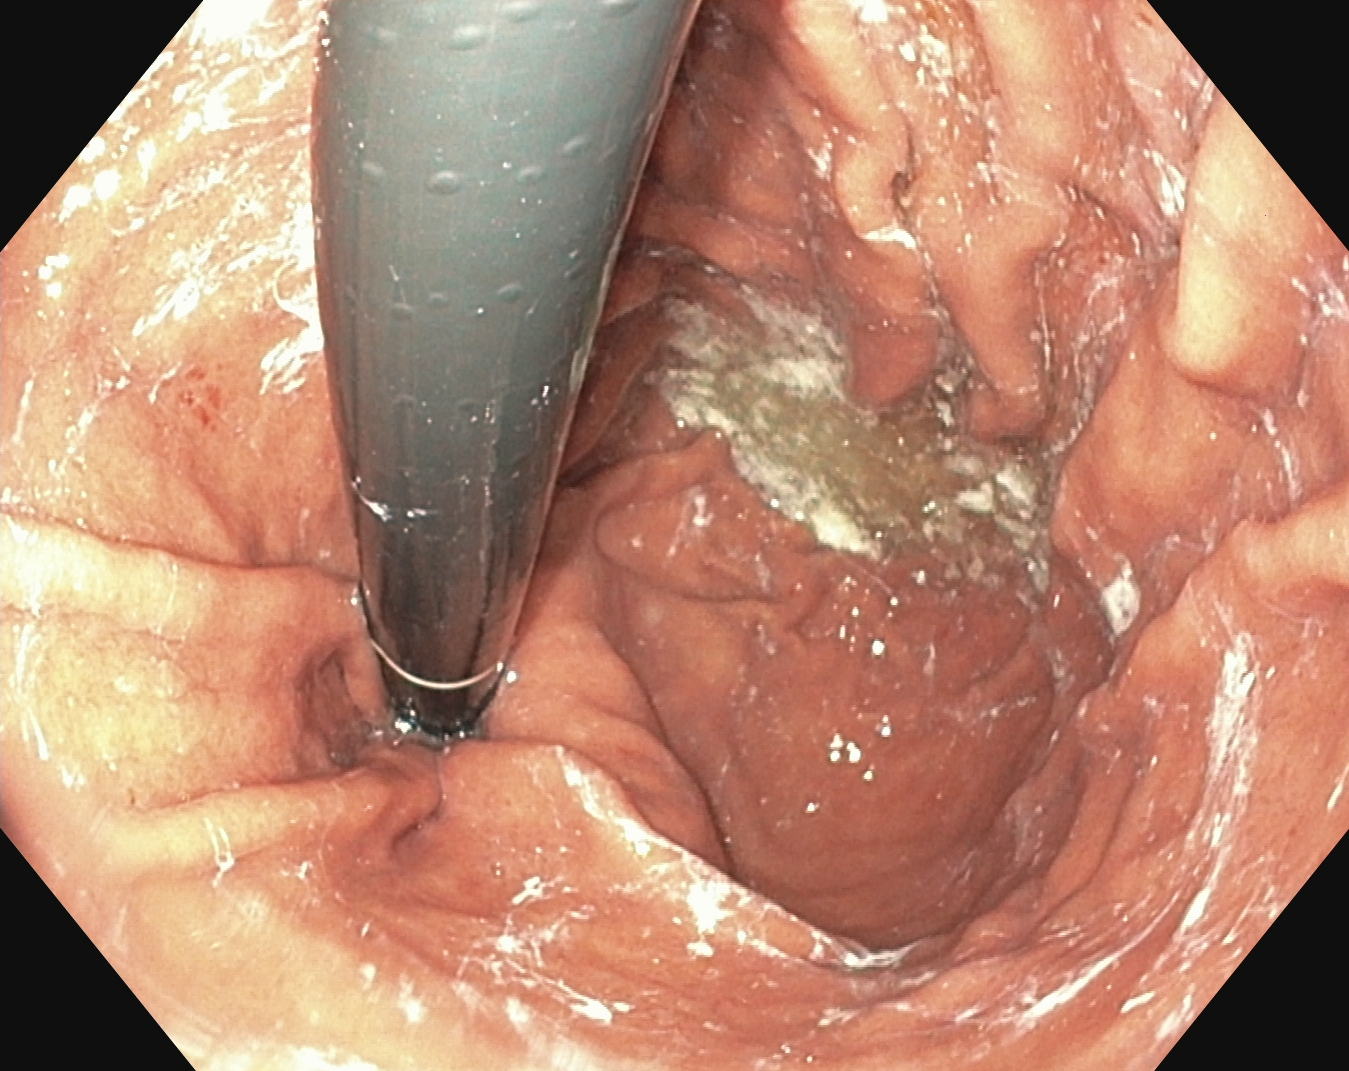{"modality": "gastroscopy", "tract": "upper GI tract", "finding": "stomach in retroflexion"}